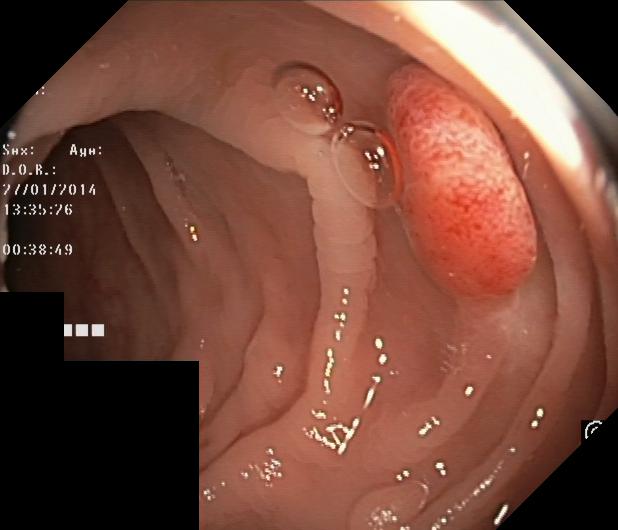{"modality": "colonoscopy", "tract": "lower GI tract", "finding": "colorectal polyp(s)"}